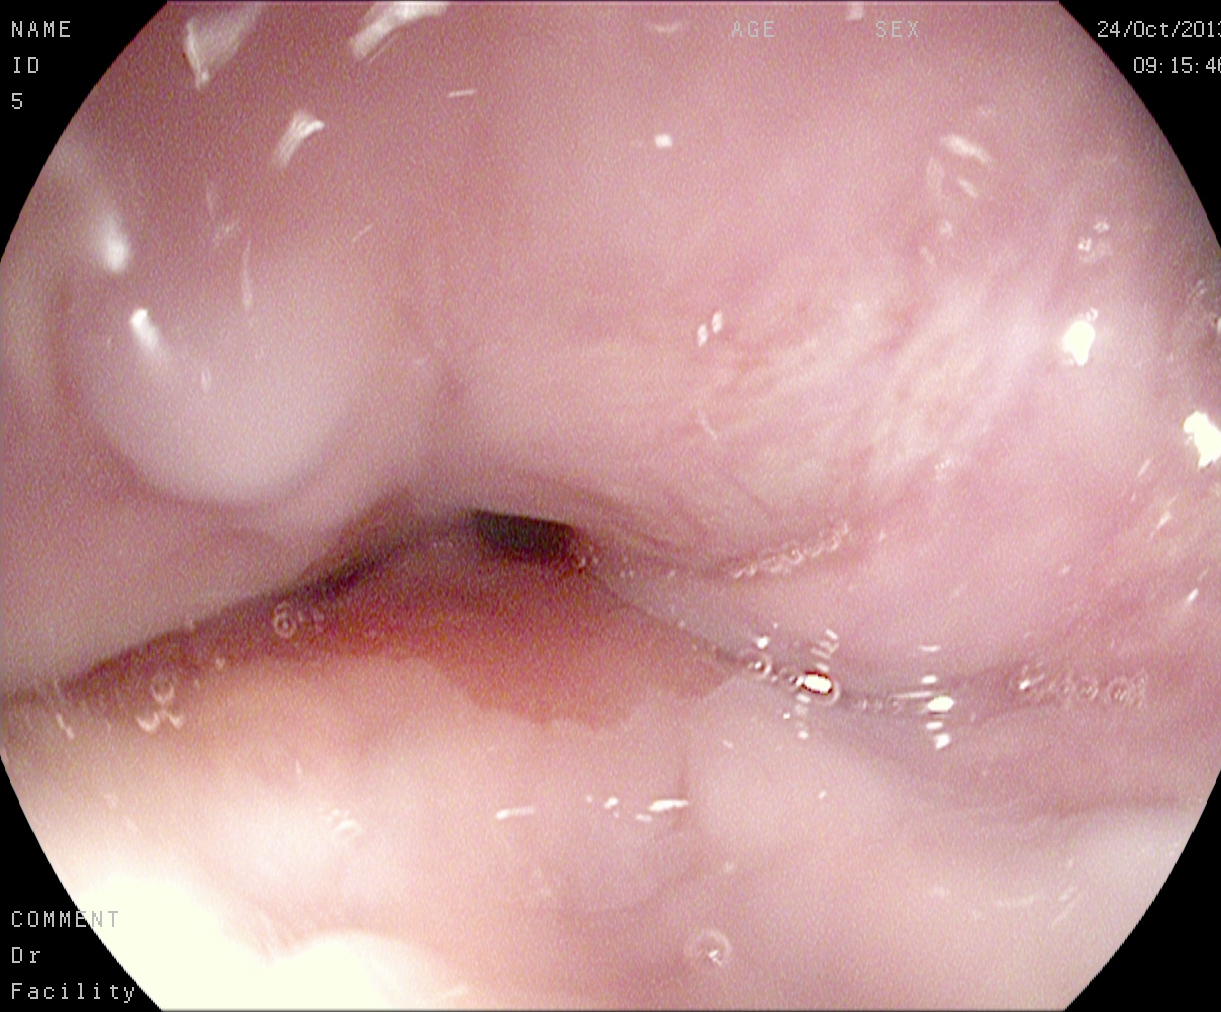PROCEDURE: Upper-GI endoscopy.
FINDINGS: Z-line (gastroesophageal junction).